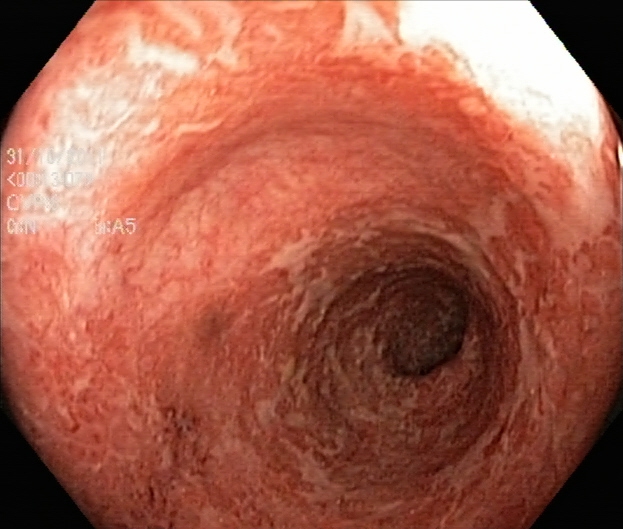Lower gastrointestinal endoscopy. Finding: ulcerative colitis, Mayo endoscopic subscore 2.